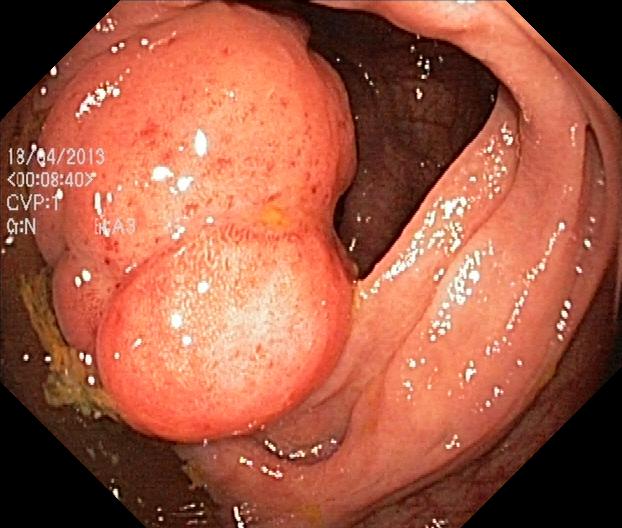Lower-GI endoscopy — colorectal polyp(s).